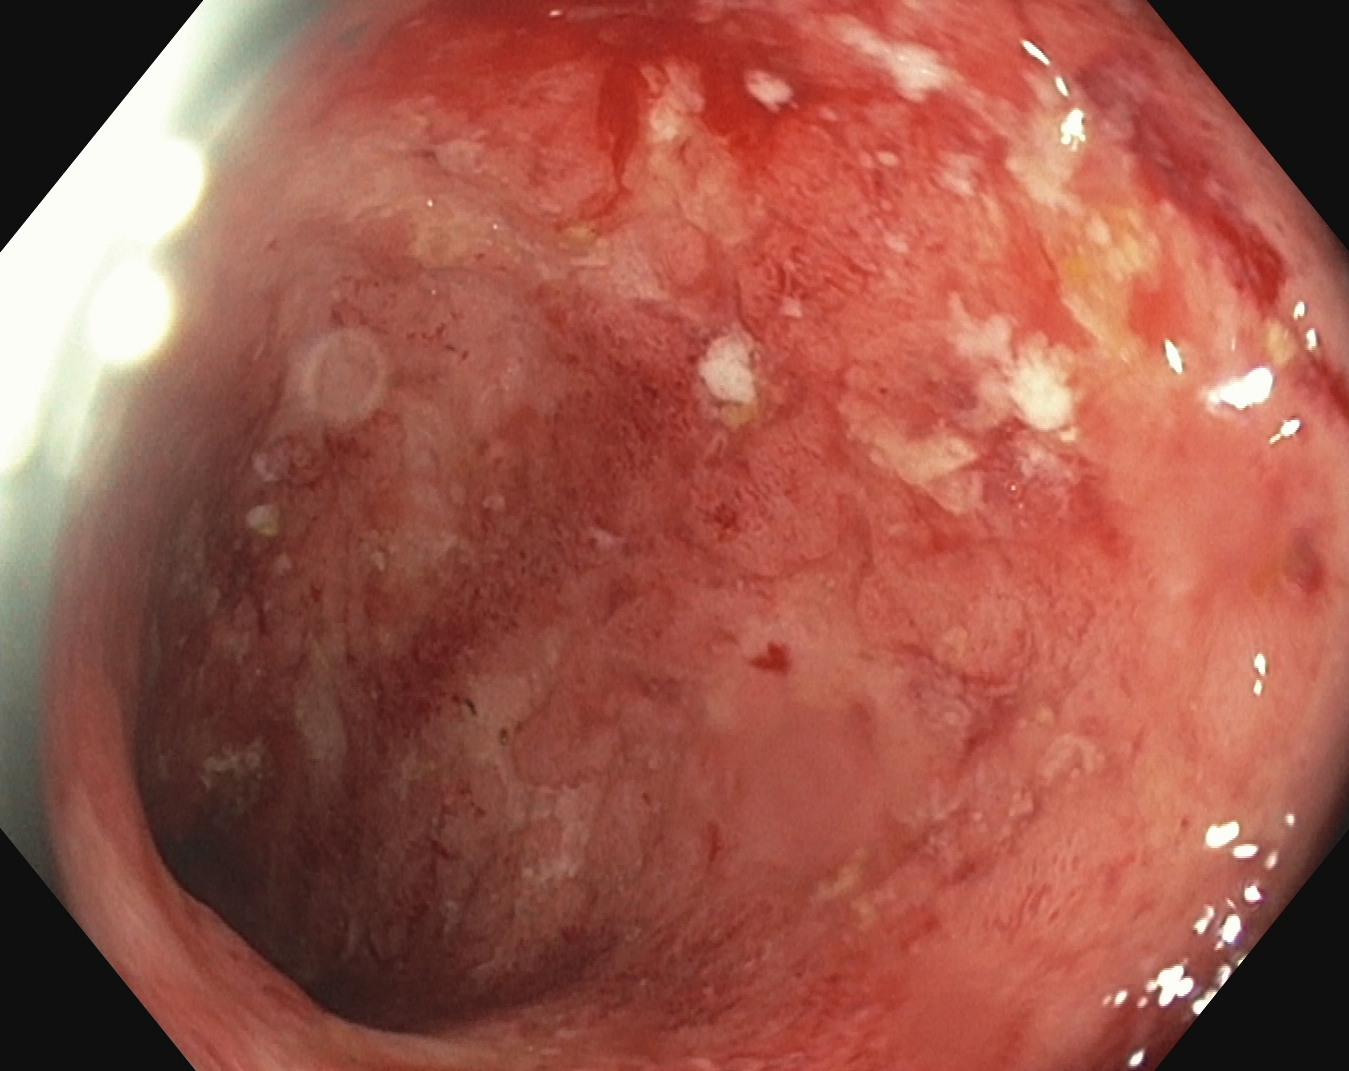modality: lower-GI endoscopy | tract: lower GI tract | finding: ulcerative colitis, Mayo endoscopic subscore 3